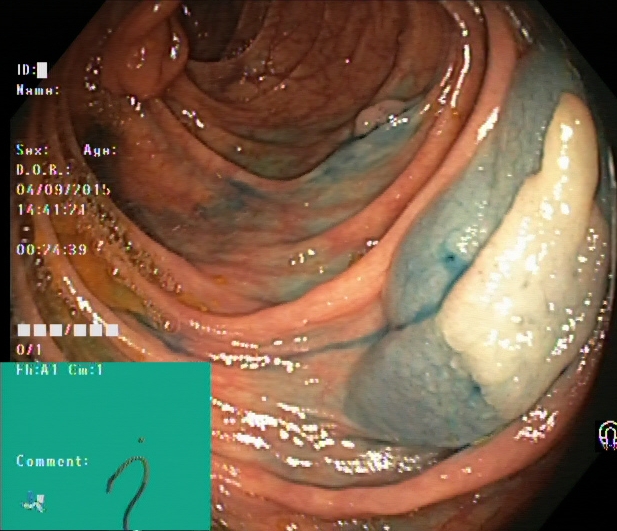{"modality": "lower-GI endoscopy", "finding": "dyed and lifted polyp (pre-resection)"}